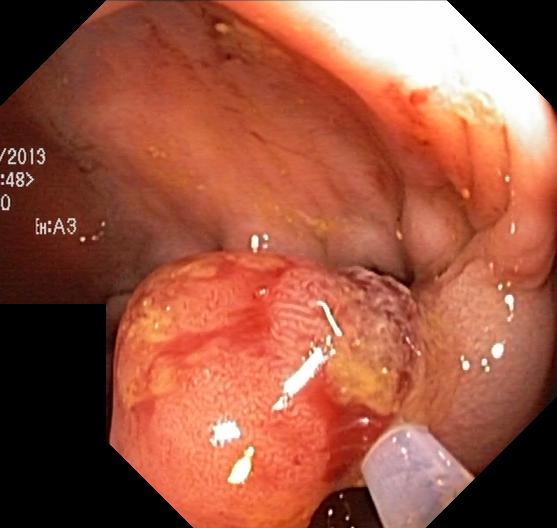modality: lower gastrointestinal endoscopy
category: pathological finding
finding: colorectal polyp(s)